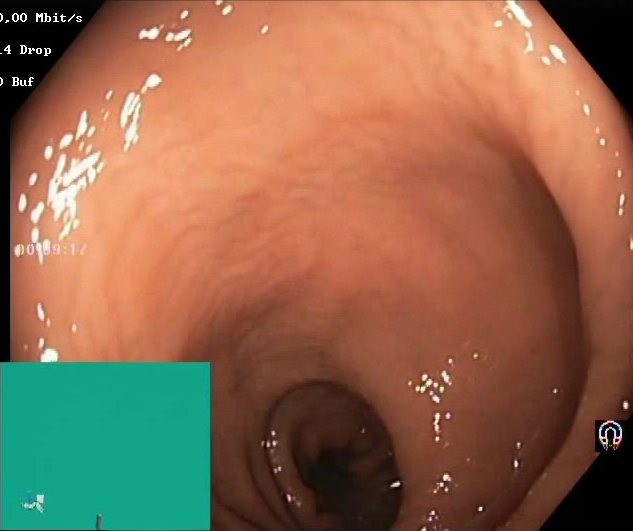This endoscopy frame shows BBPS score 2–3 (adequate preparation).